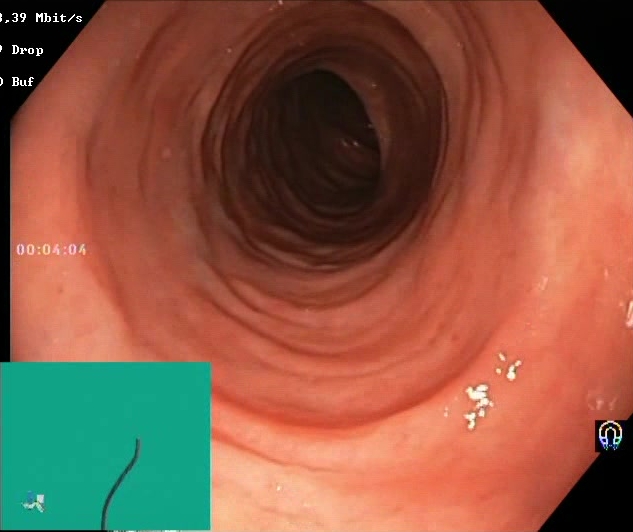{"modality": "lower-GI endoscopy", "category": "mucosal-view quality", "finding": "Boston Bowel Preparation Scale score 2\u20133 (adequate preparation)"}